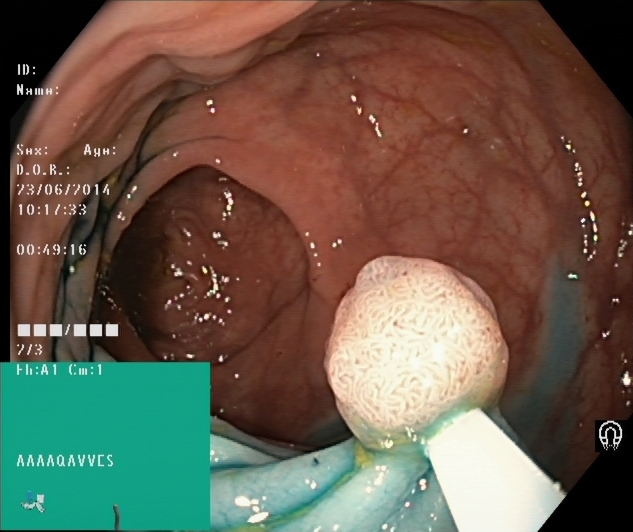Lower-GI endoscopy. Tract: lower GI tract. Finding: dyed and lifted polyp (pre-resection).